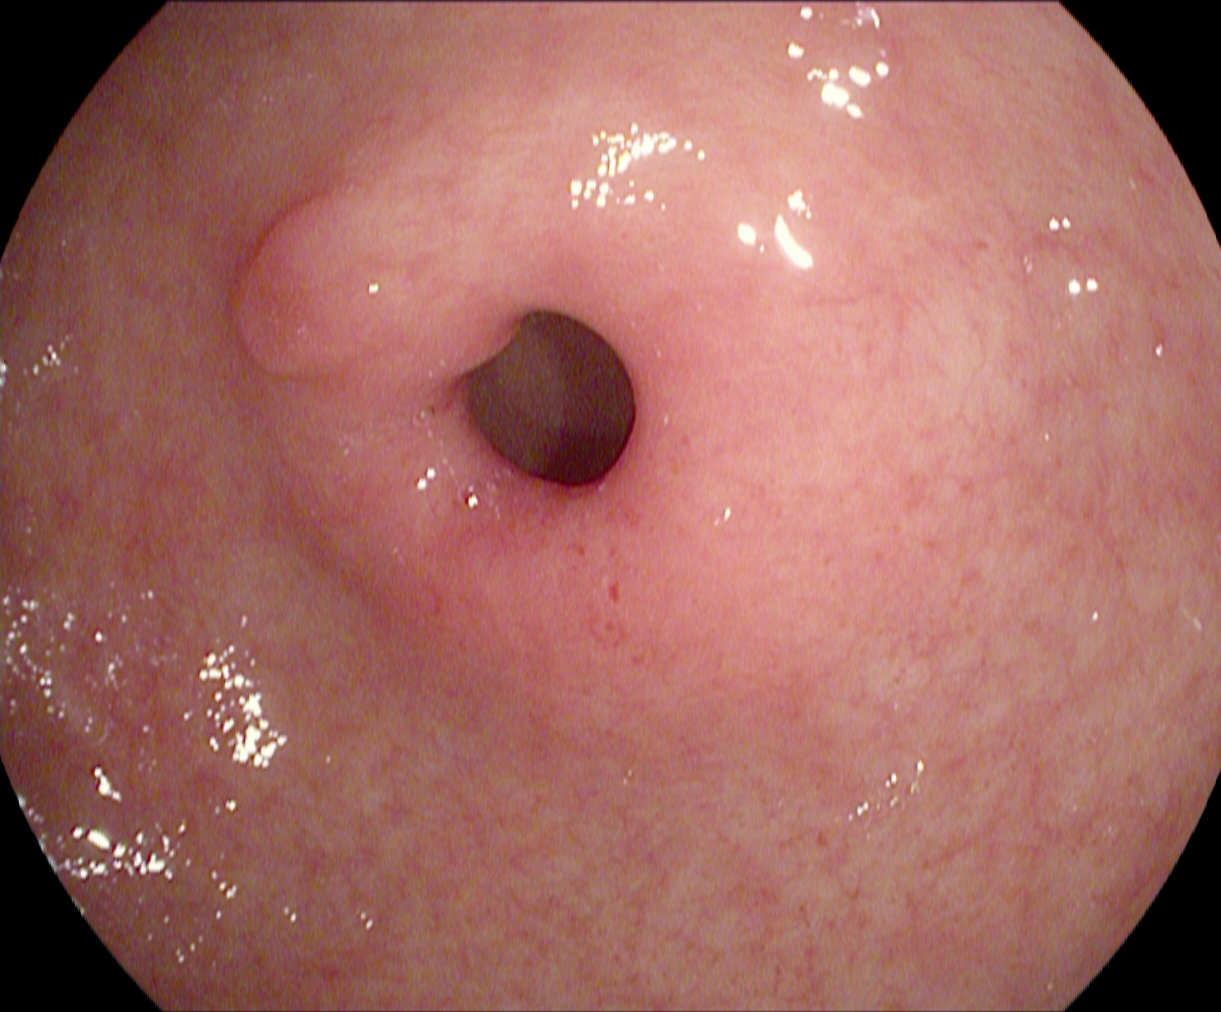Gastroscopy — pylorus.